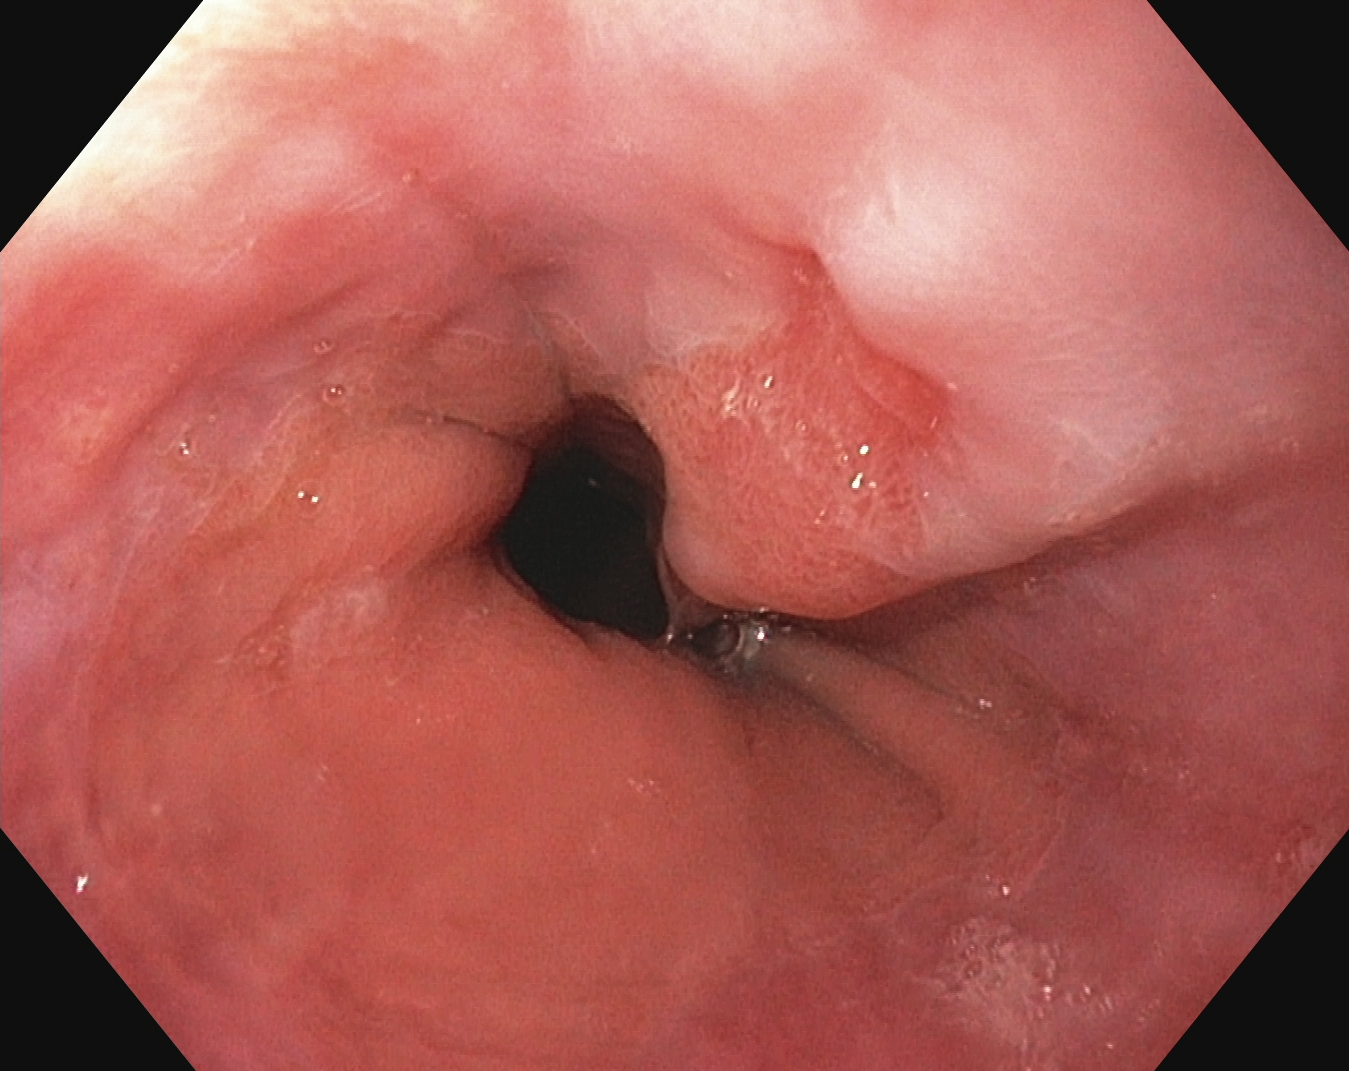This endoscopy frame of the upper GI tract shows reflux esophagitis, Los Angeles grade B–D.